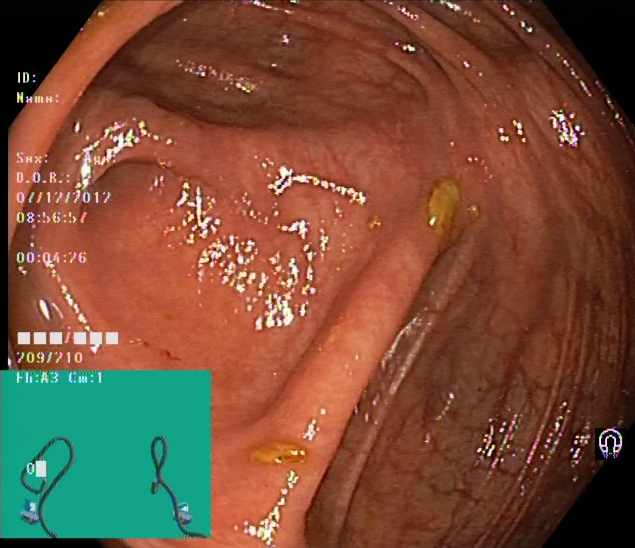This endoscopic image of the lower GI tract shows cecum.